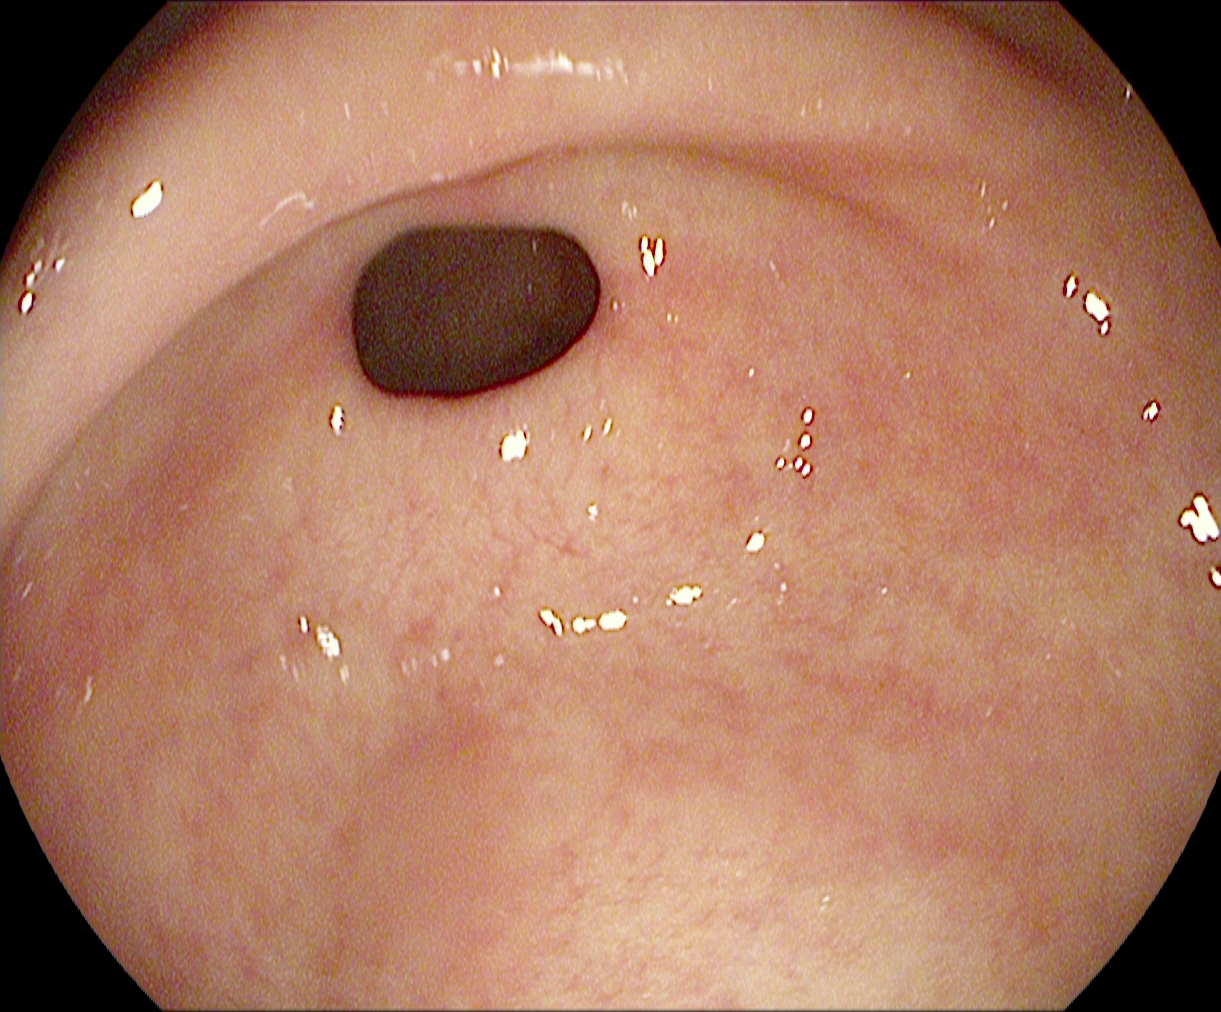{"modality": "esophagogastroduodenoscopy", "category": "anatomical landmark", "finding": "pylorus"}